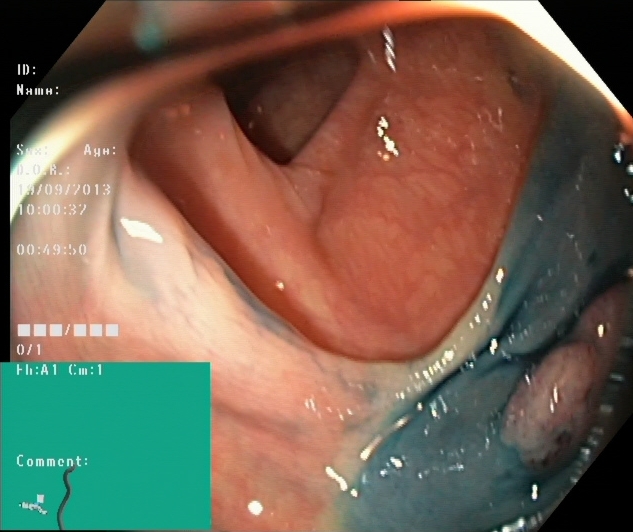Lower-GI endoscopy — dyed and lifted polyp (pre-resection).